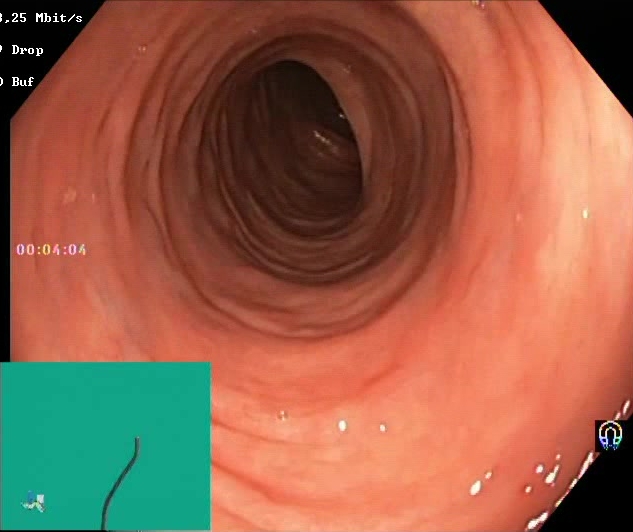Colonoscopy. Tract: lower GI tract. Finding: Boston Bowel Preparation Scale score 2–3 (adequate preparation).